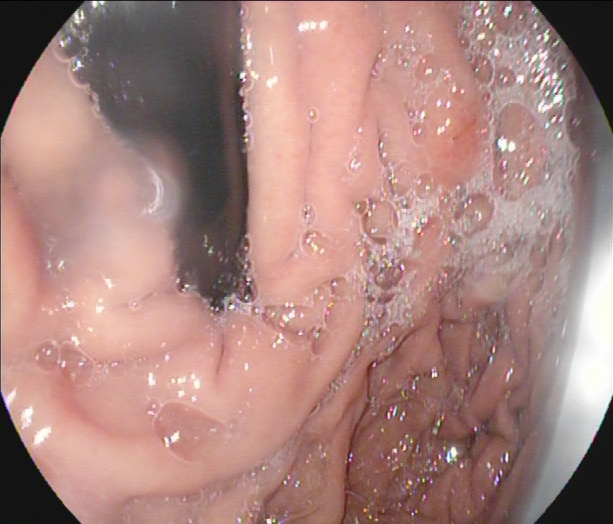modality: gastroscopy
tract: upper GI tract
finding: stomach in retroflexion